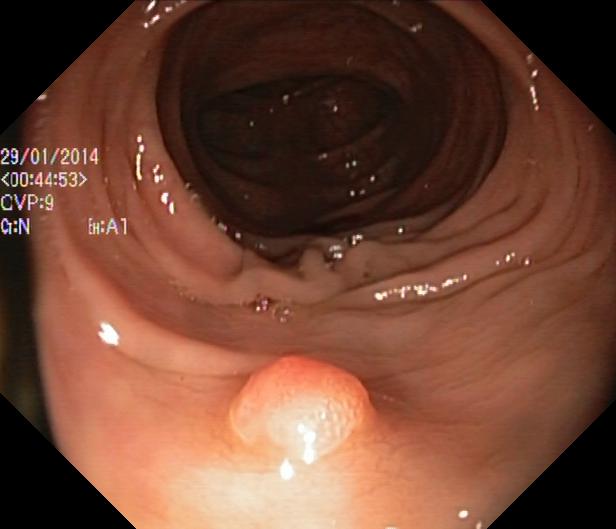colorectal polyp(s).